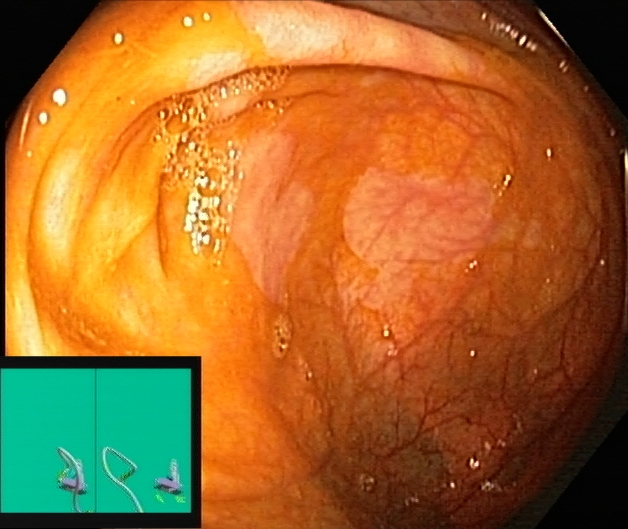Endoscopy image of the lower GI tract showing cecum.